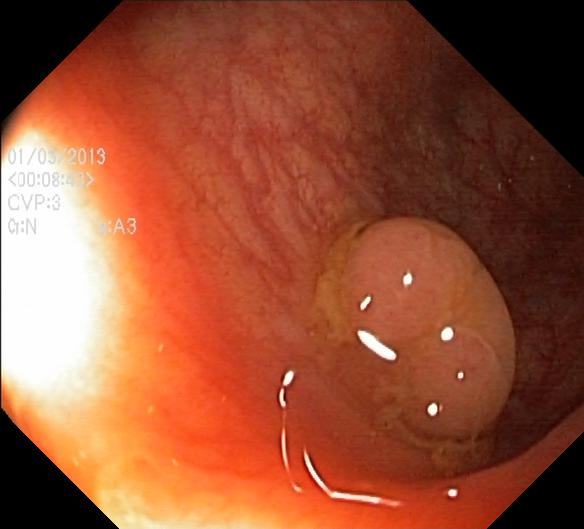Colorectal polyp(s).